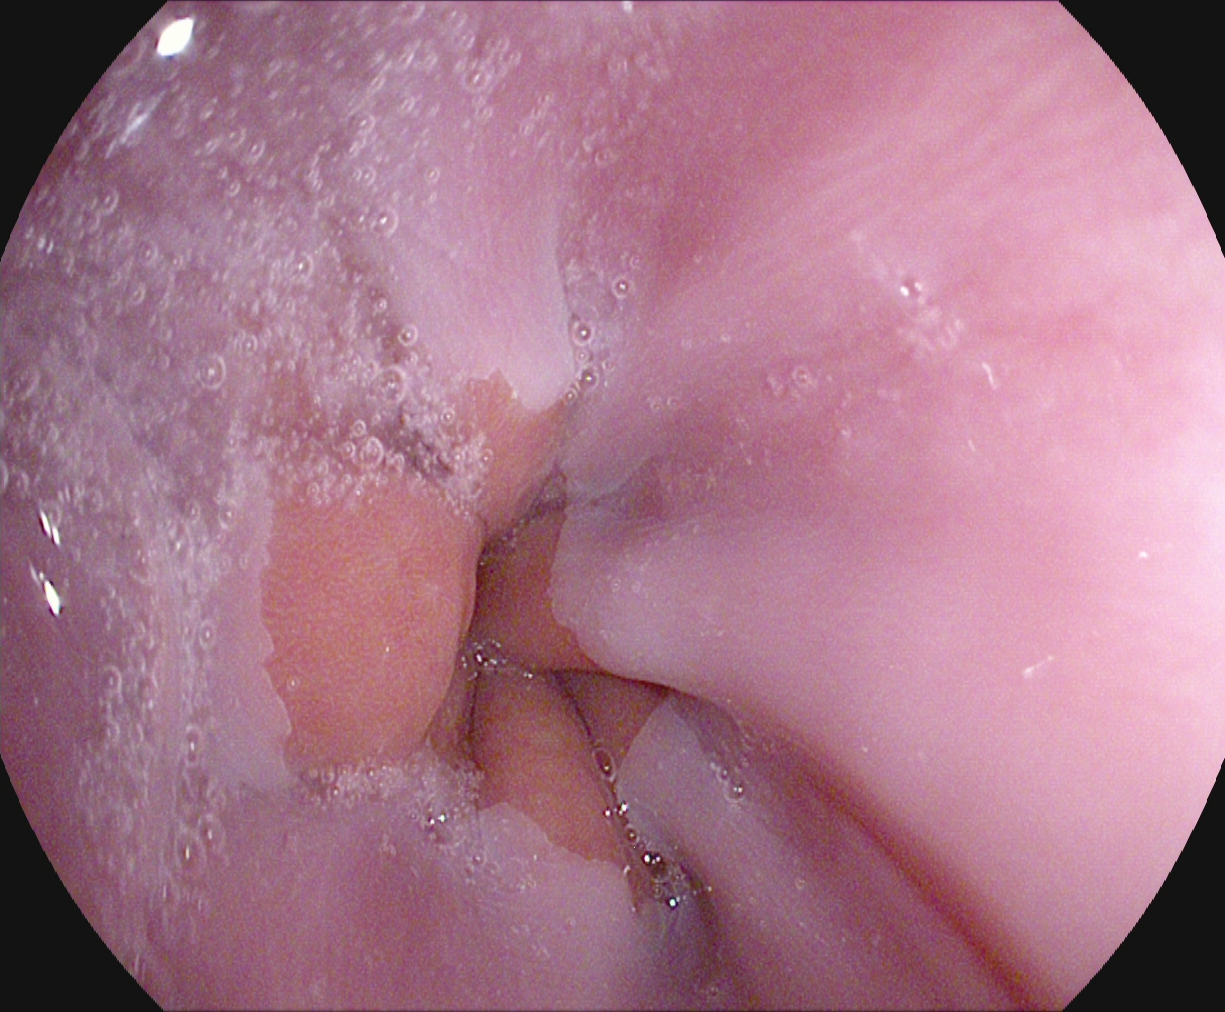PROCEDURE: Esophagogastroduodenoscopy.
CATEGORY: Anatomical landmark.
FINDINGS: Z-line (gastroesophageal junction).